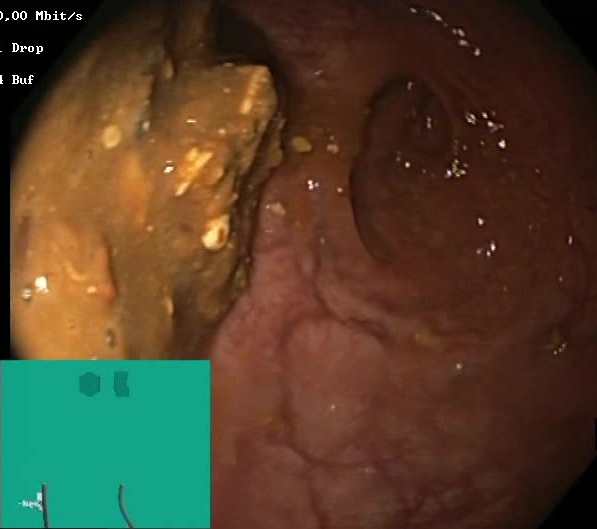Colonoscopy. Tract: lower GI tract. Mucosal-view quality. Finding: Boston Bowel Preparation Scale score 0–1 (inadequate preparation).